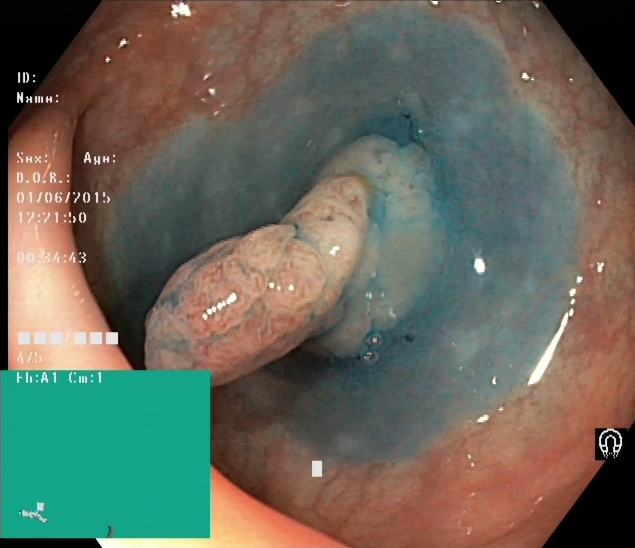Colonoscopy. Finding: dyed and lifted polyp (pre-resection).